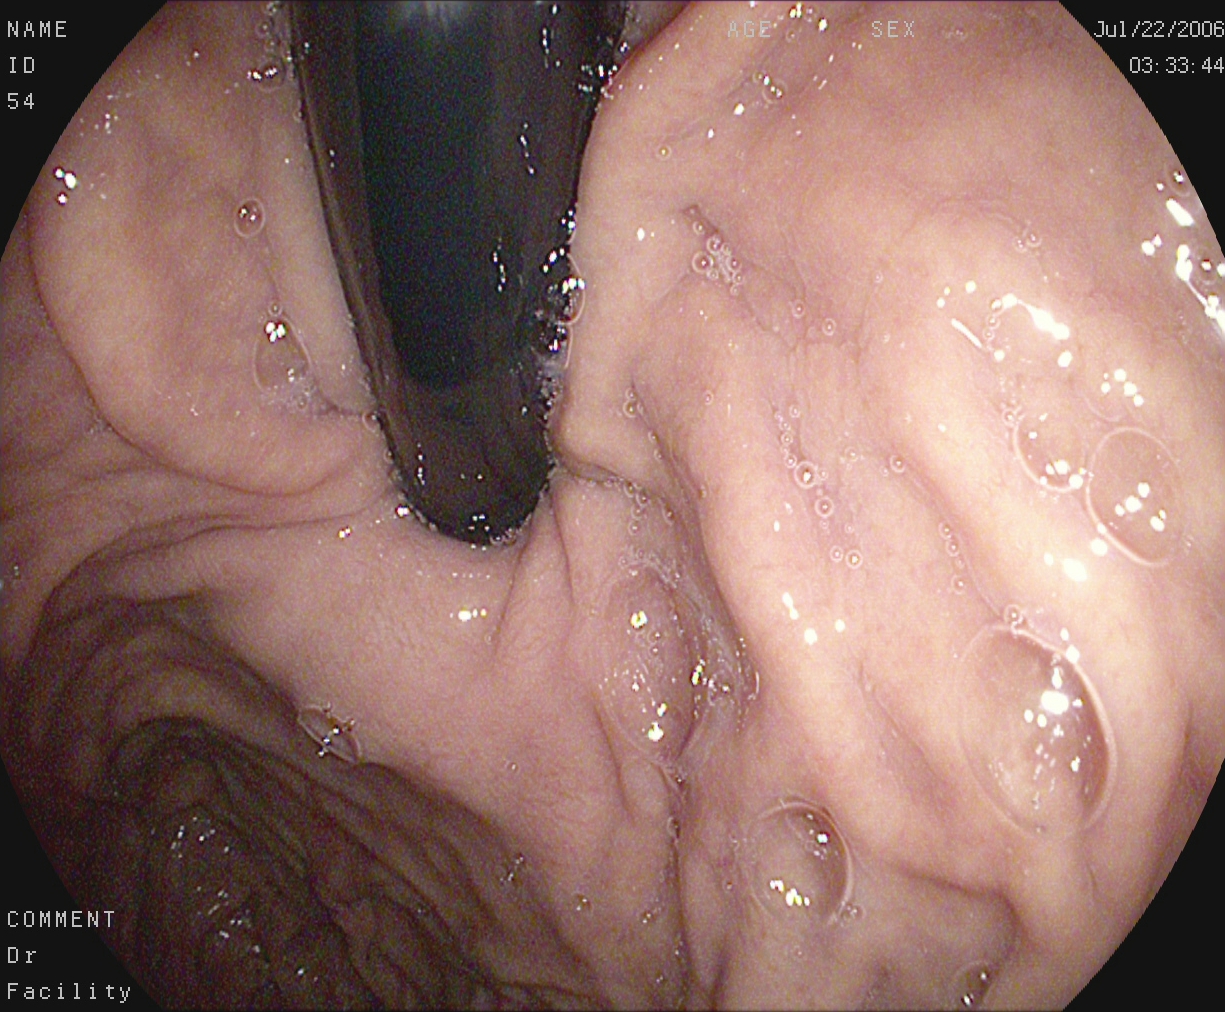{"modality": "EGD", "tract": "upper GI tract", "finding": "stomach in retroflexion"}